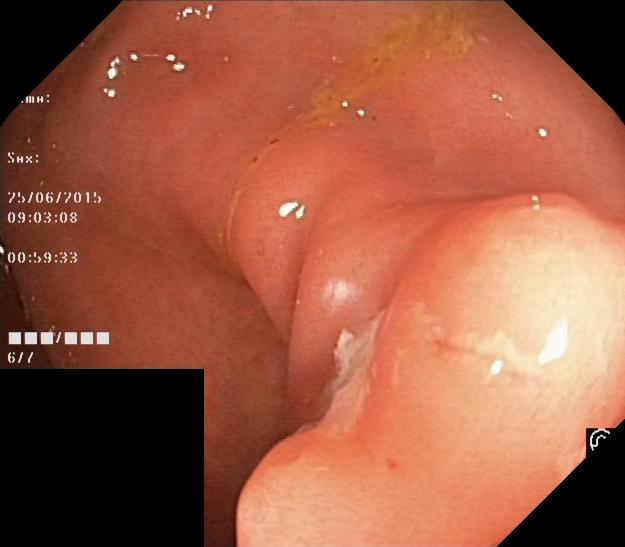This endoscopic image of the lower GI tract shows colorectal polyp(s).